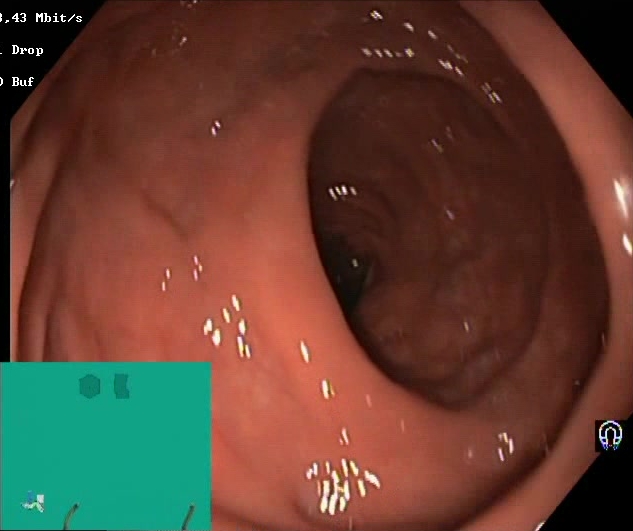modality: lower gastrointestinal endoscopy; tract: lower GI tract; finding: Boston Bowel Preparation Scale score 2–3 (adequate preparation)